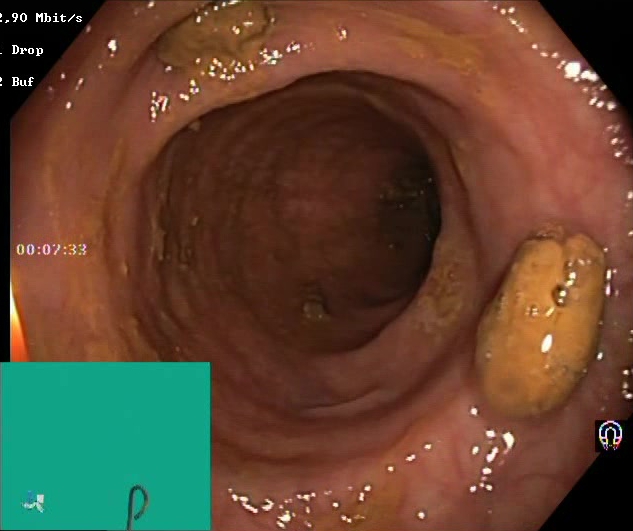GI endoscopy image showing impacted stool.